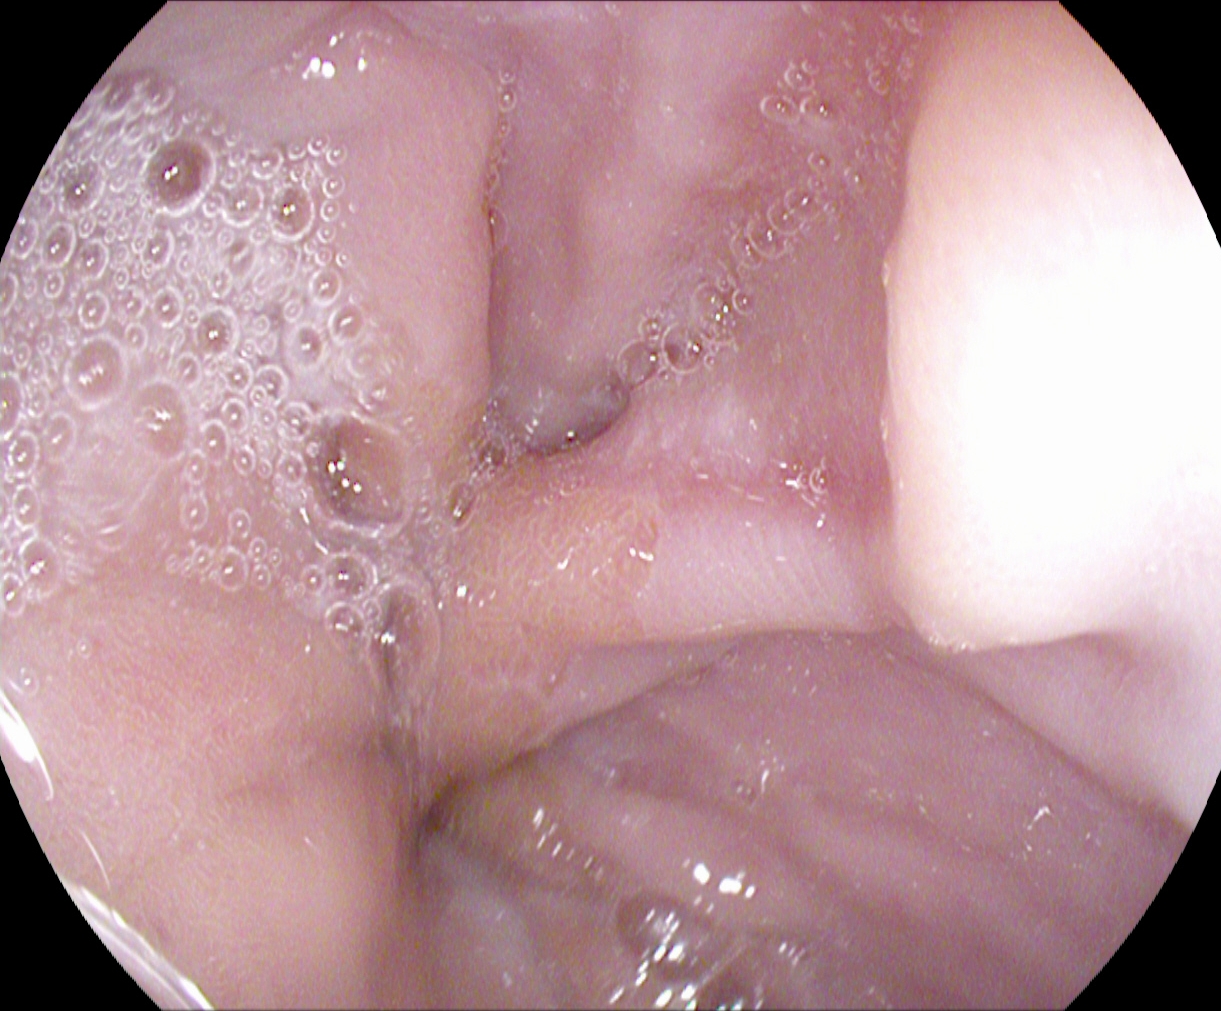Reflux esophagitis, LA grade A.